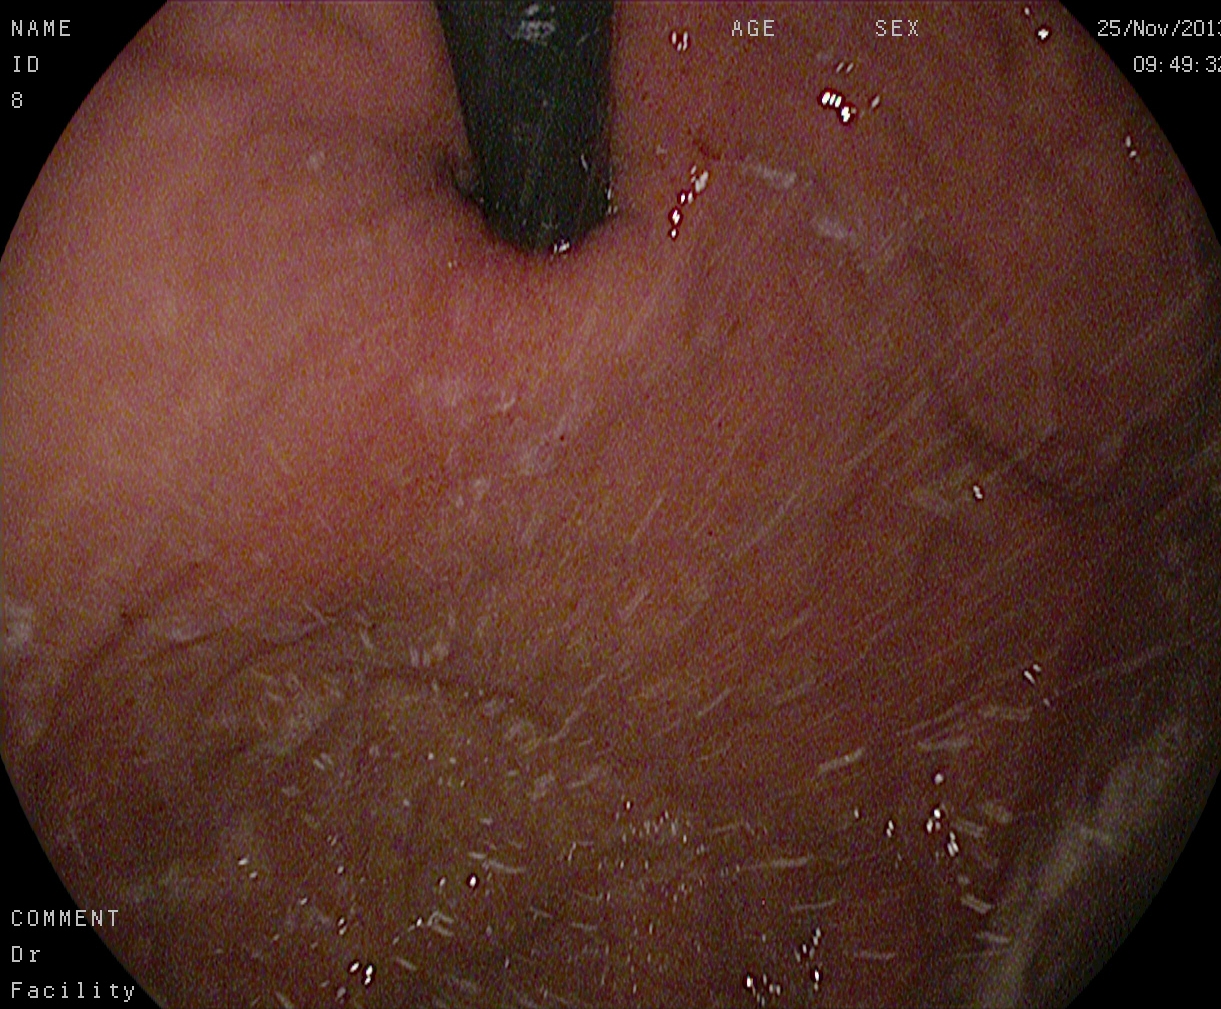Gastroscopy image showing stomach in retroflexion.